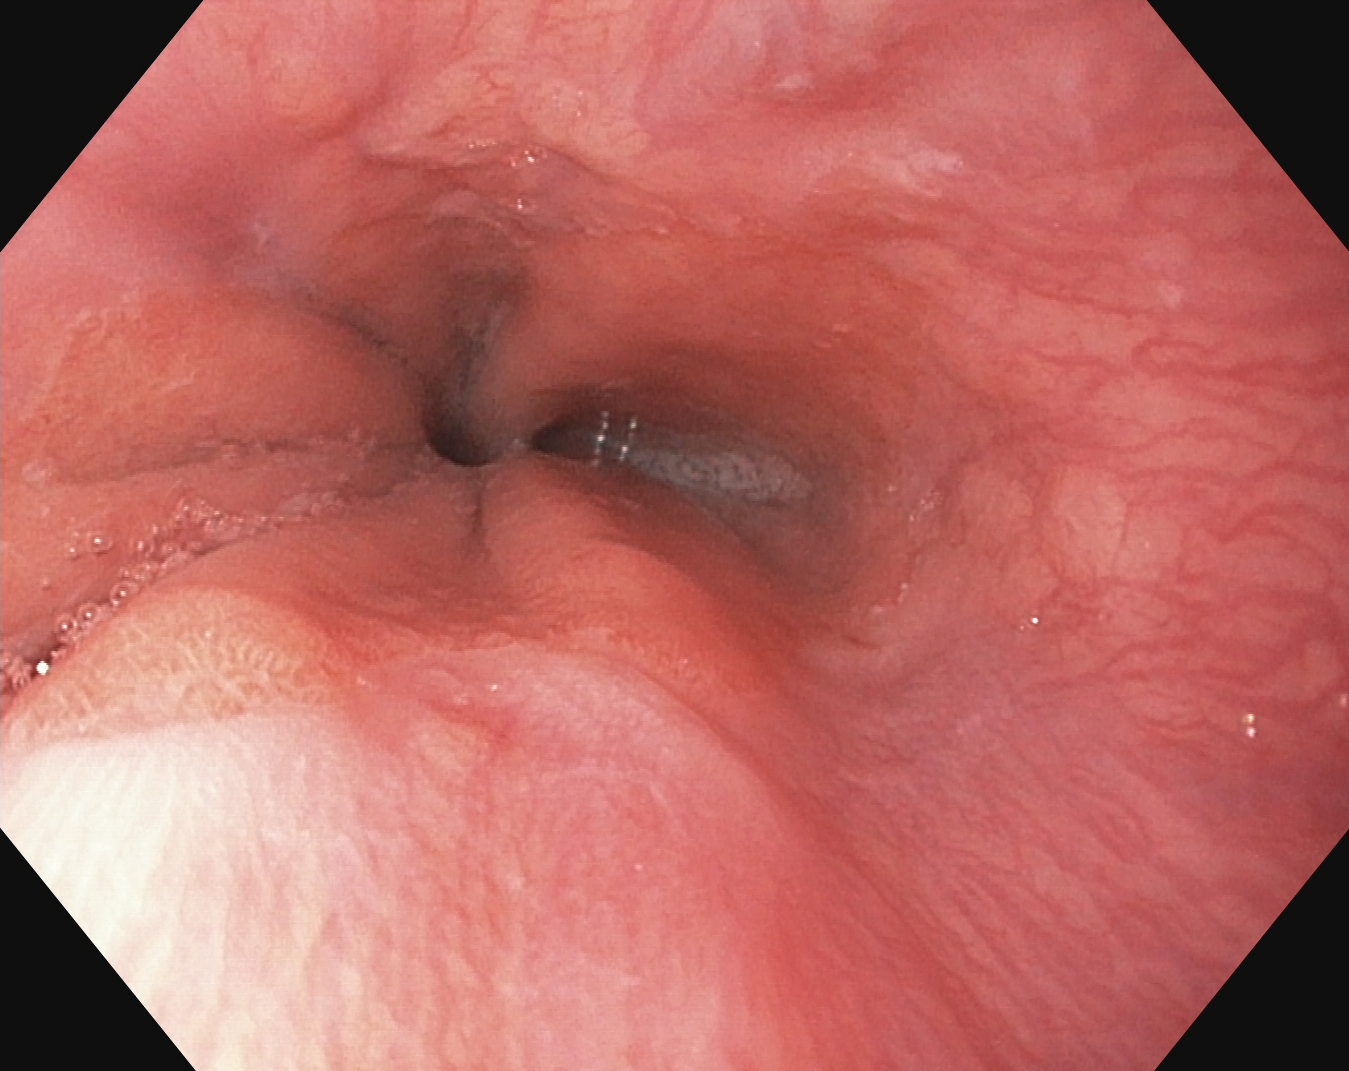Endoscopic frame of the upper GI tract showing Z-line (gastroesophageal junction).